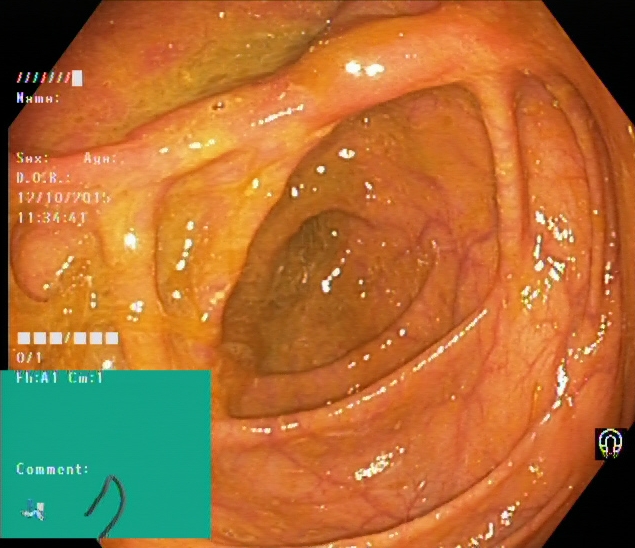PROCEDURE: Lower gastrointestinal endoscopy.
CATEGORY: Anatomical landmark.
FINDINGS: Cecum.